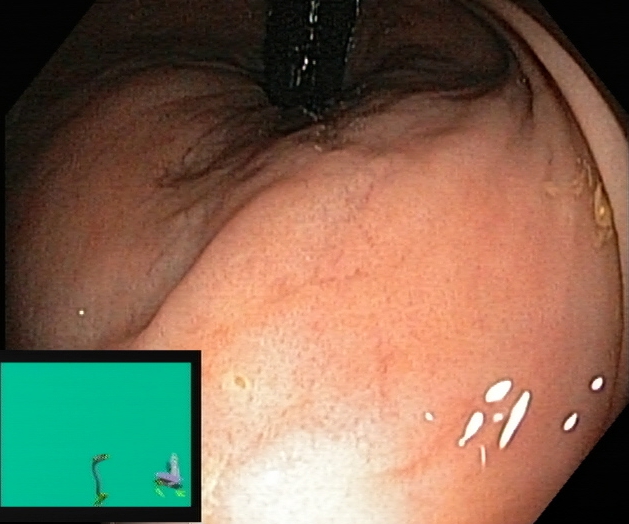{"modality": "lower gastrointestinal endoscopy", "tract": "lower GI tract", "category": "anatomical landmark", "finding": "rectum in retroflexion"}